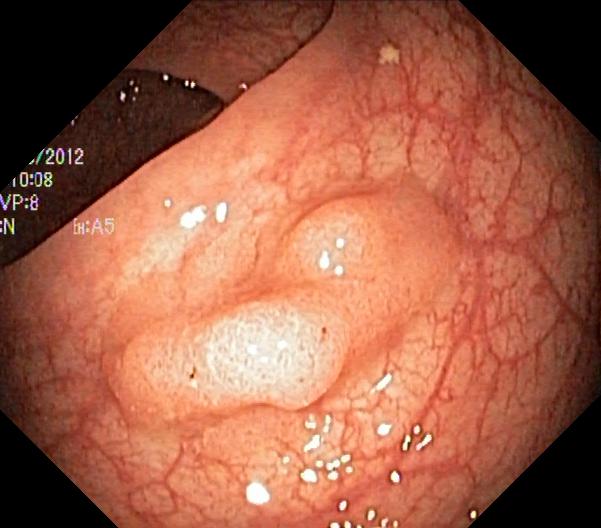Colorectal polyp(s).